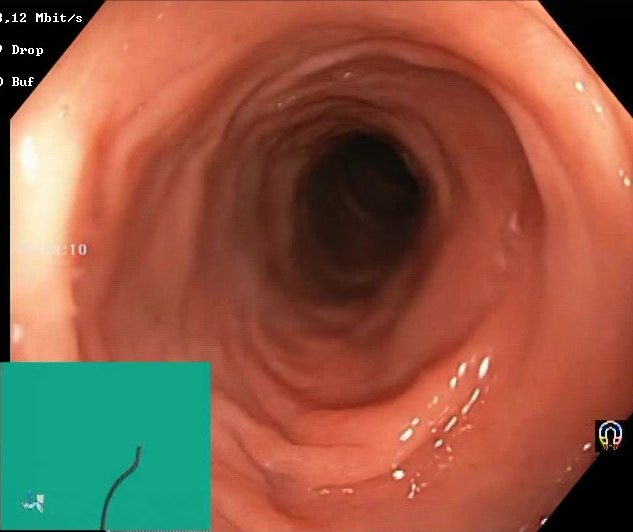{"modality": "lower-GI endoscopy", "tract": "lower GI tract", "category": "mucosal-view quality", "finding": "Boston Bowel Preparation Scale score 2\u20133 (adequate preparation)"}